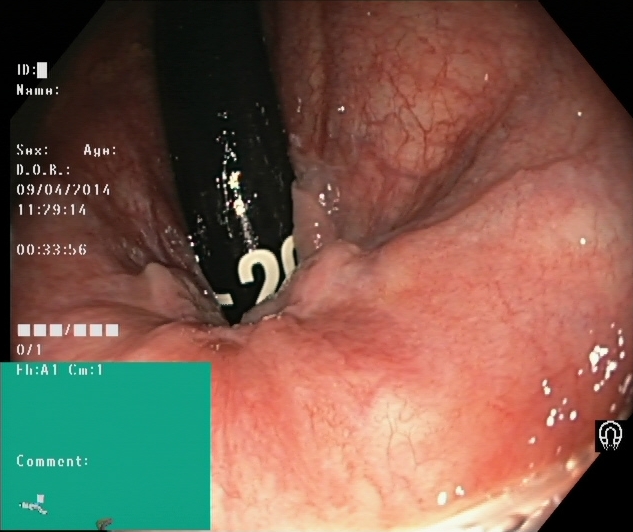This endoscopic image shows rectum in retroflexion.